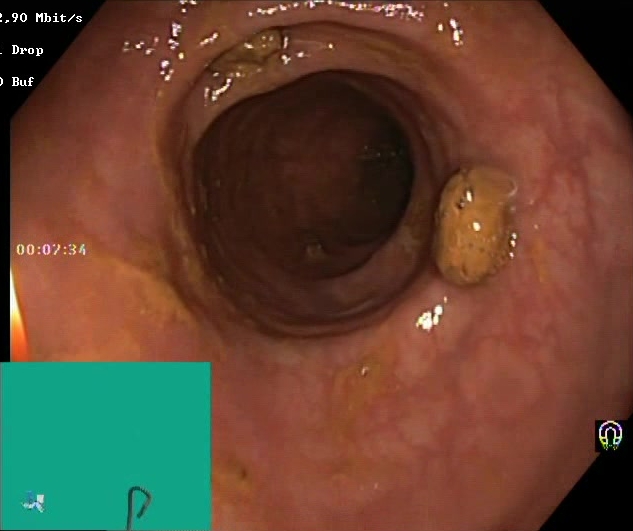Lower-GI endoscopy — impacted stool.